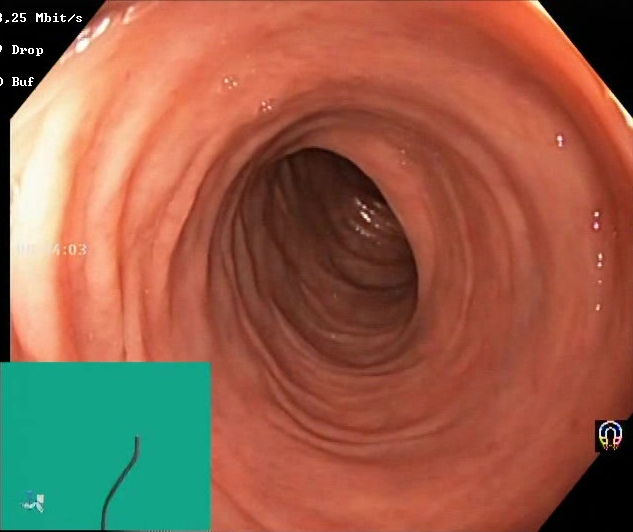modality: colonoscopy | category: mucosal-view quality | finding: Boston Bowel Preparation Scale score 2–3 (adequate preparation)